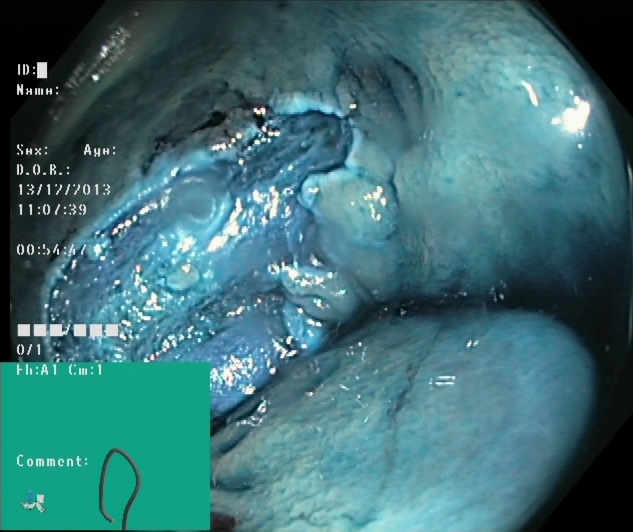This endoscopic image of the lower GI tract shows dyed resection margins (post-polypectomy).